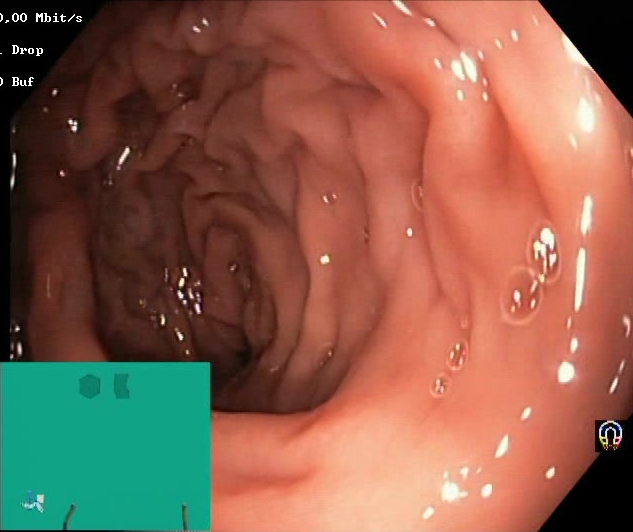modality: lower gastrointestinal endoscopy; tract: lower GI tract; category: mucosal-view quality; finding: BBPS score 2–3 (adequate preparation)